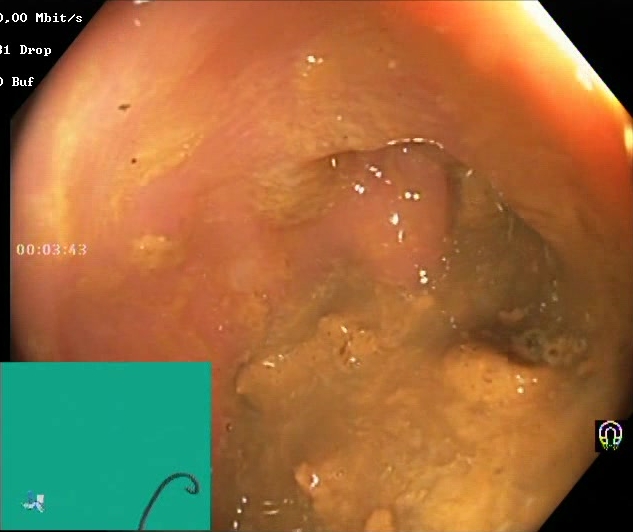PROCEDURE: Colonoscopy.
FINDINGS: Boston Bowel Preparation Scale score 0–1 (inadequate preparation).